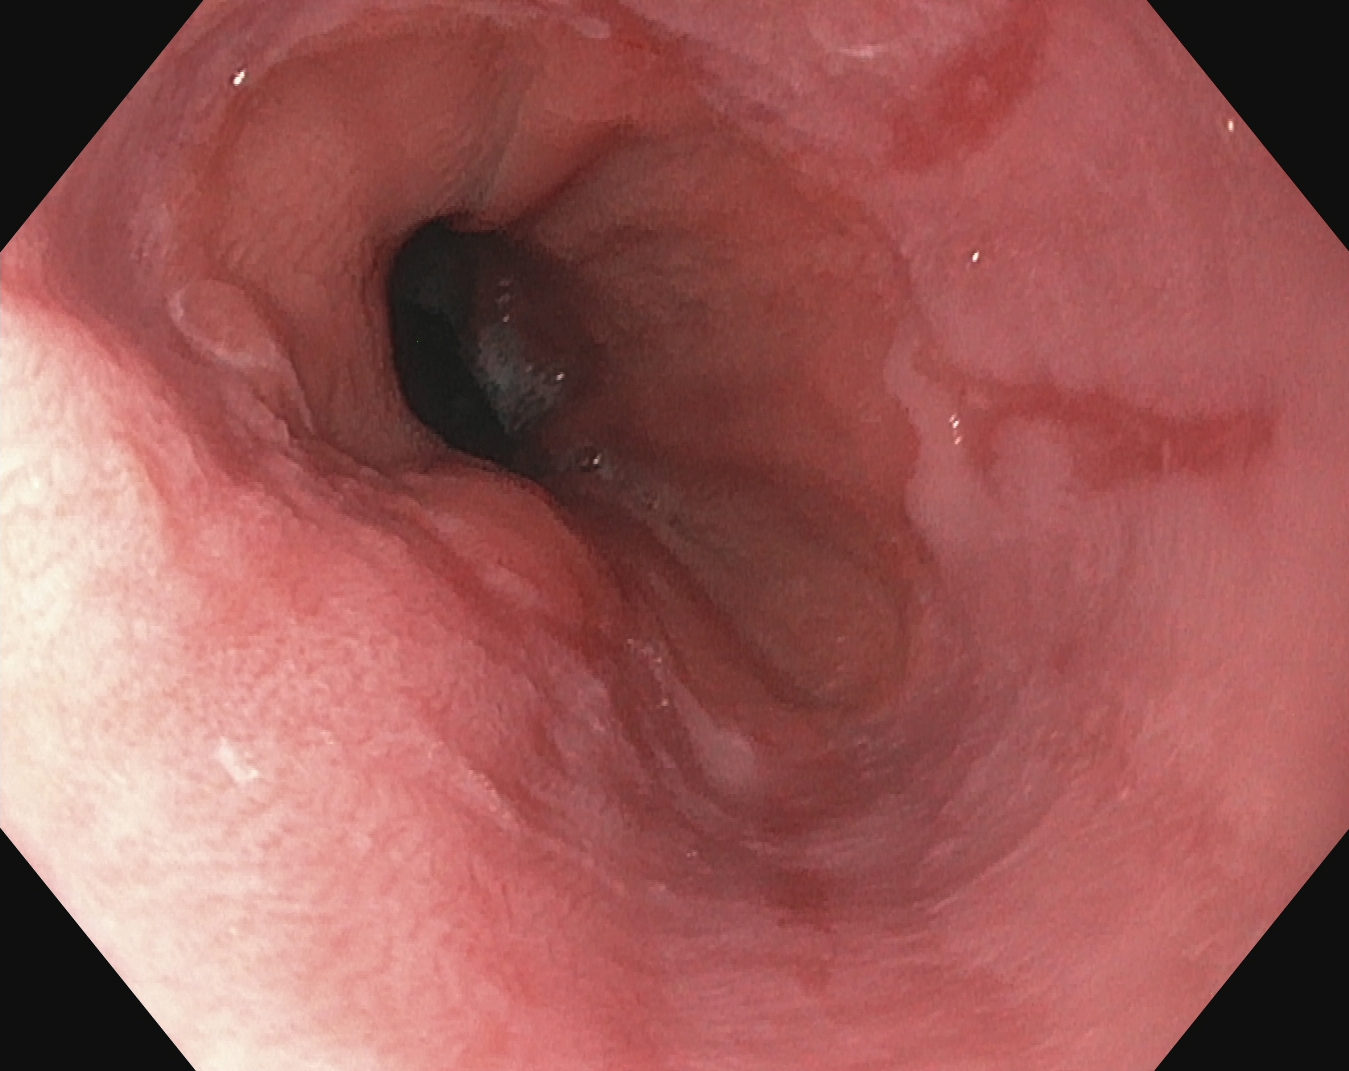{"modality": "esophagogastroduodenoscopy", "tract": "upper GI tract", "finding": "reflux esophagitis, LA grade A"}